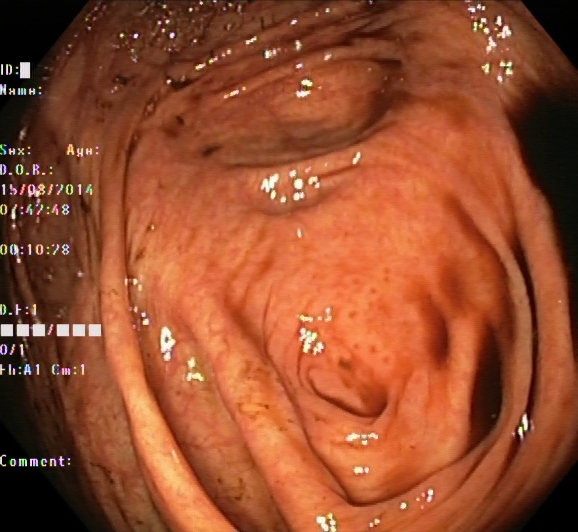cecum.